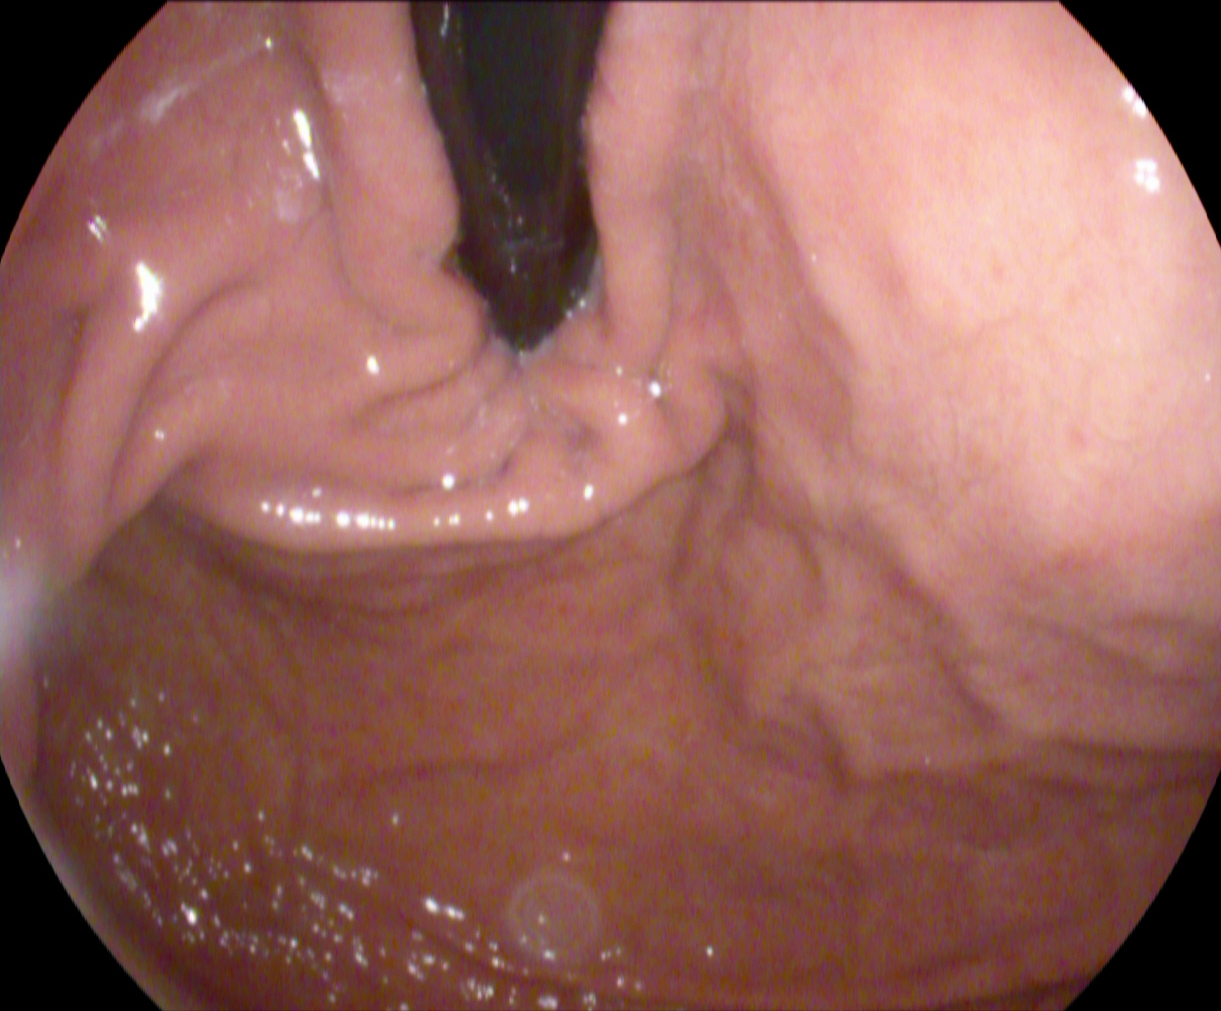Stomach in retroflexion.